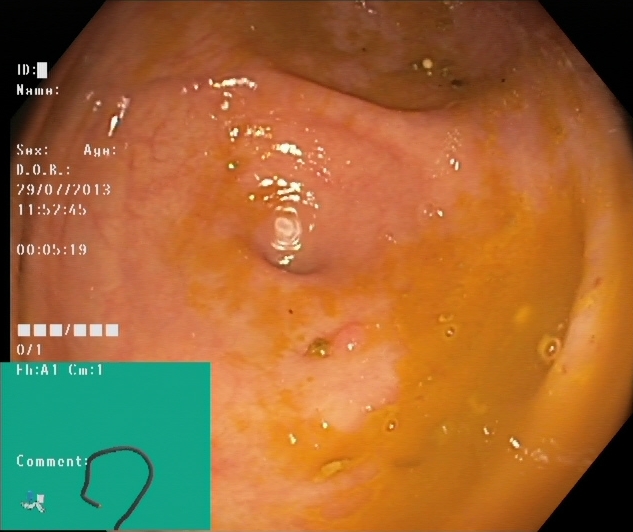{"modality": "colonoscopy", "category": "anatomical landmark", "finding": "cecum"}